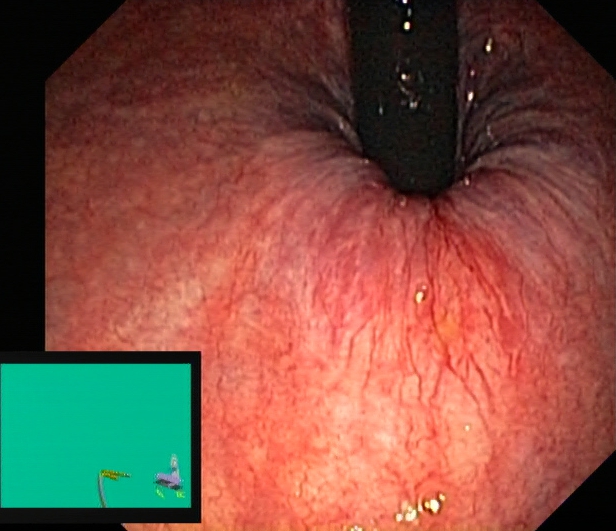Lower-GI endoscopy. Tract: lower GI tract. Anatomical landmark. Finding: rectum in retroflexion.